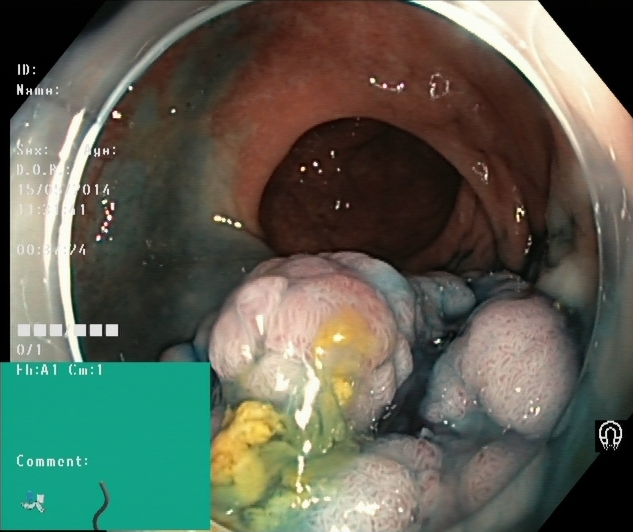{"modality": "colonoscopy", "finding": "dyed and lifted polyp (pre-resection)"}